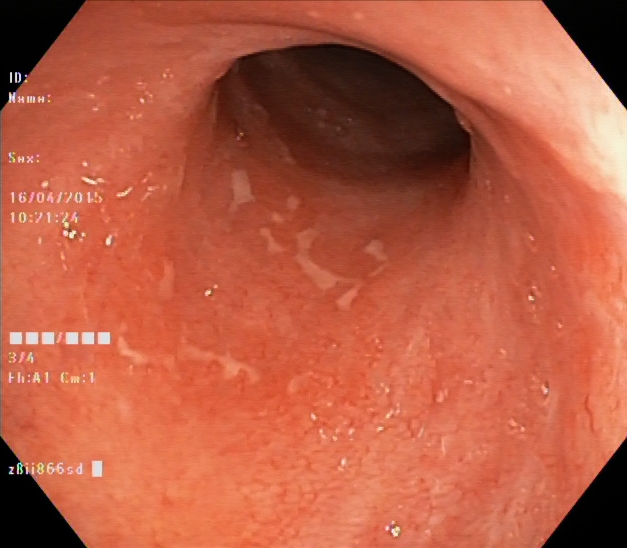Gastrointestinal endoscopy image showing UC, Mayo endoscopic subscore 1–2.